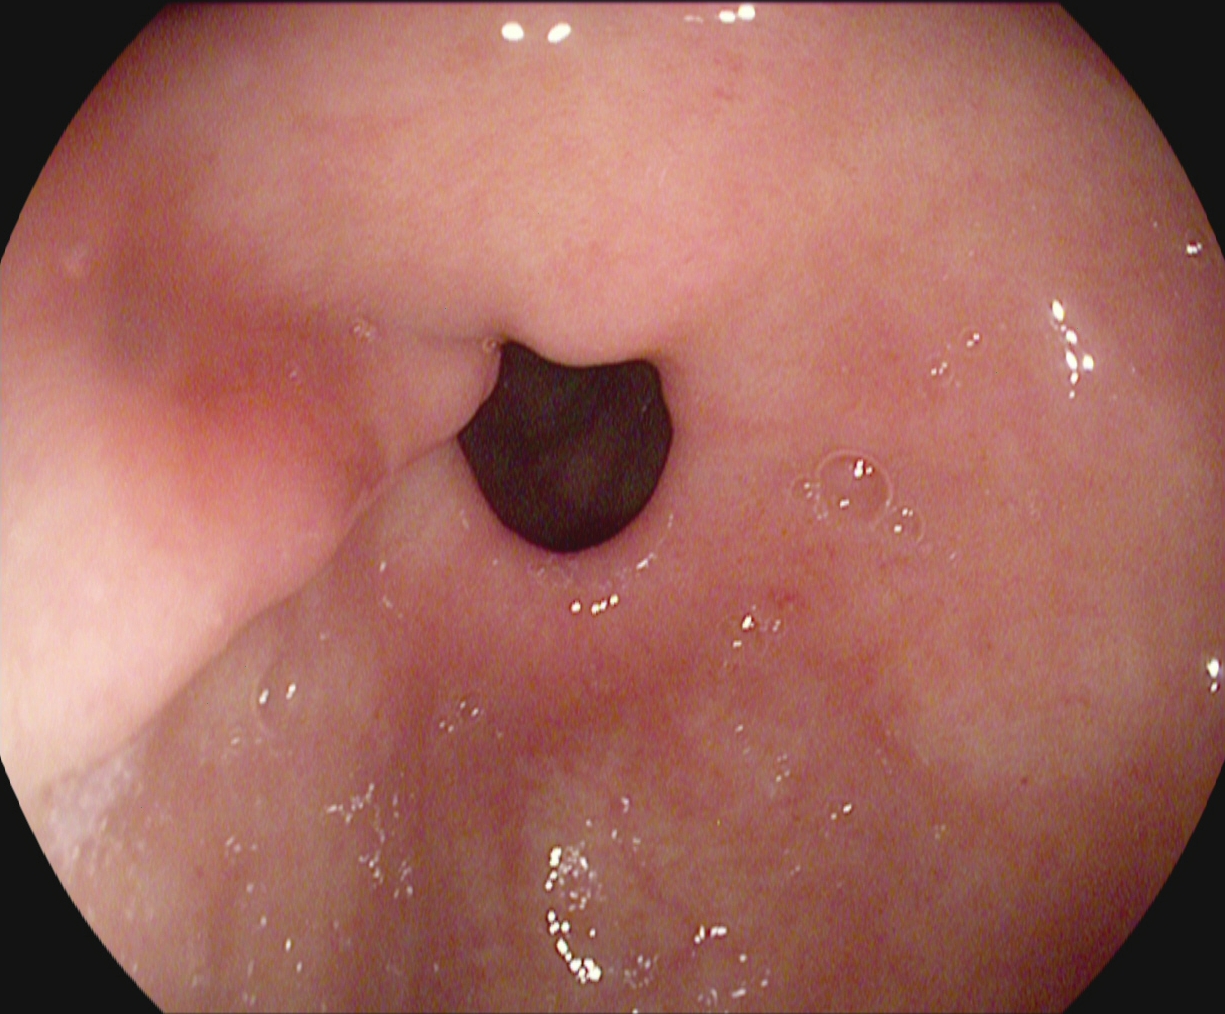modality: EGD; finding: pylorus